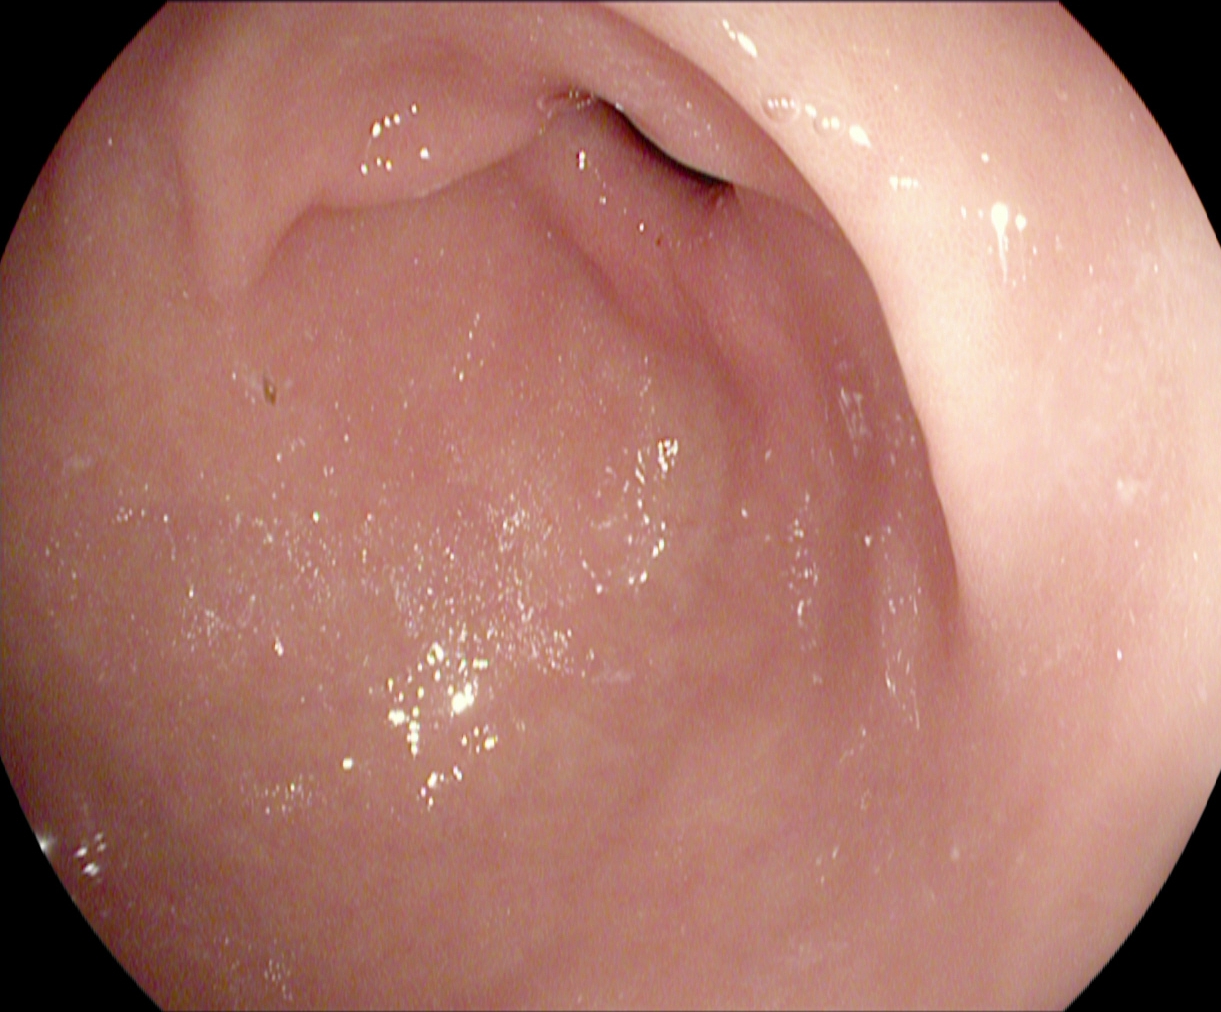EGD — pylorus.